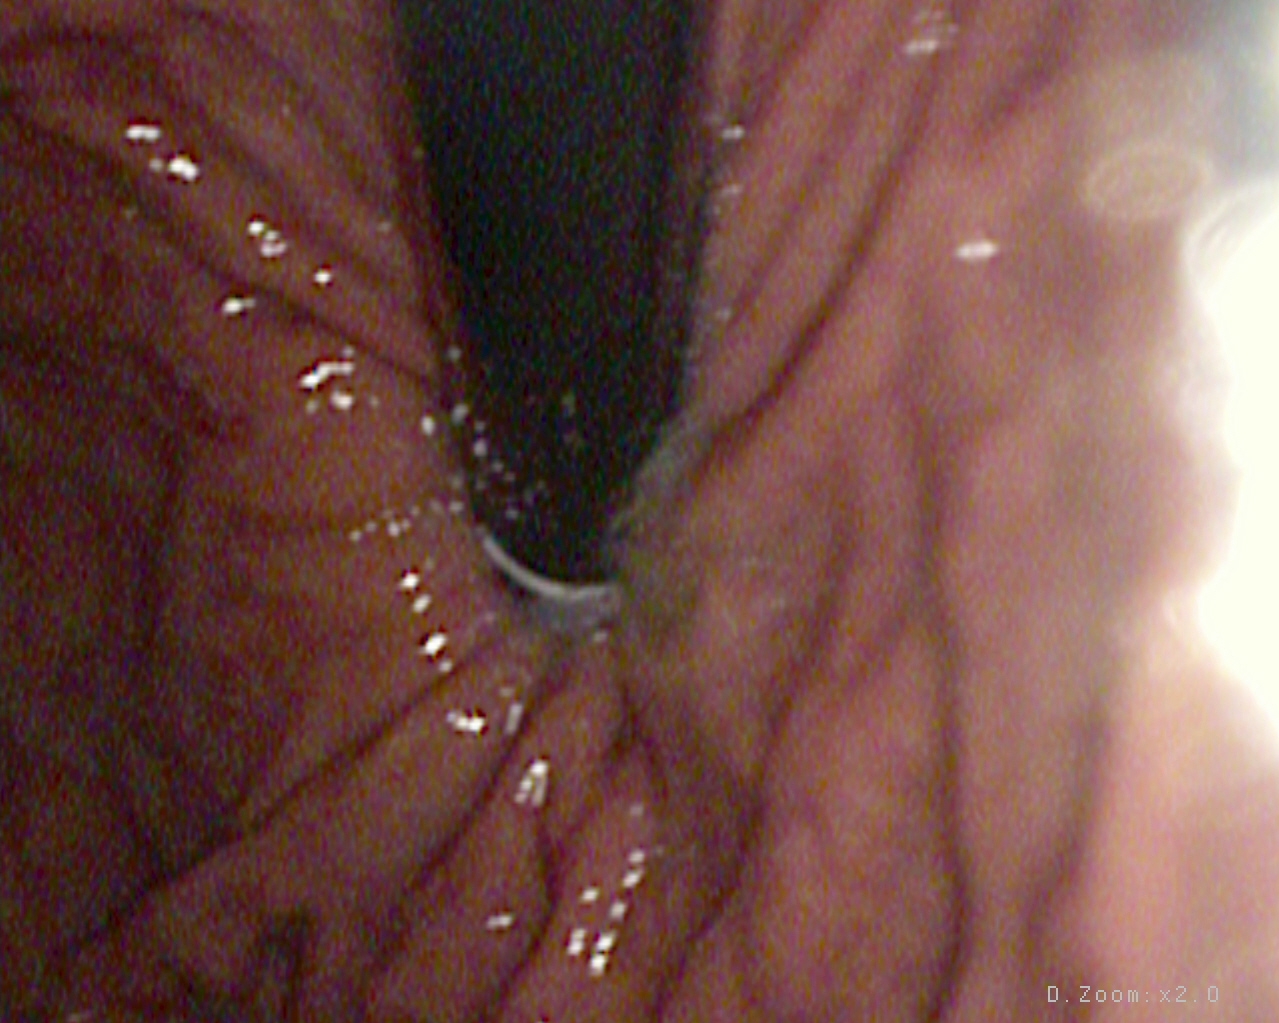Gastroscopy — stomach in retroflexion.